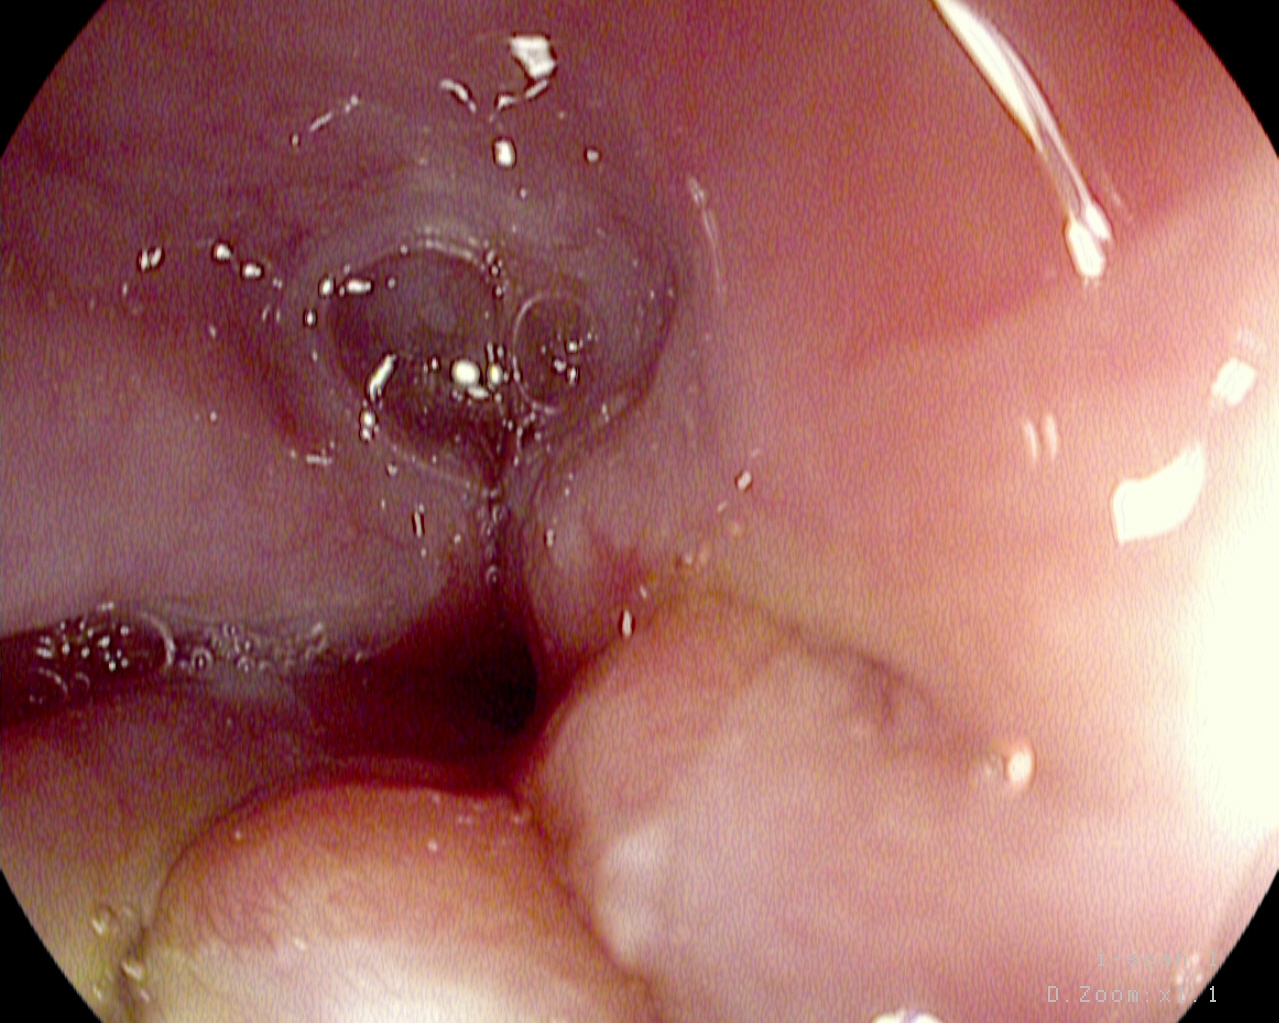This endoscopic image of the upper GI tract shows Z-line (gastroesophageal junction).